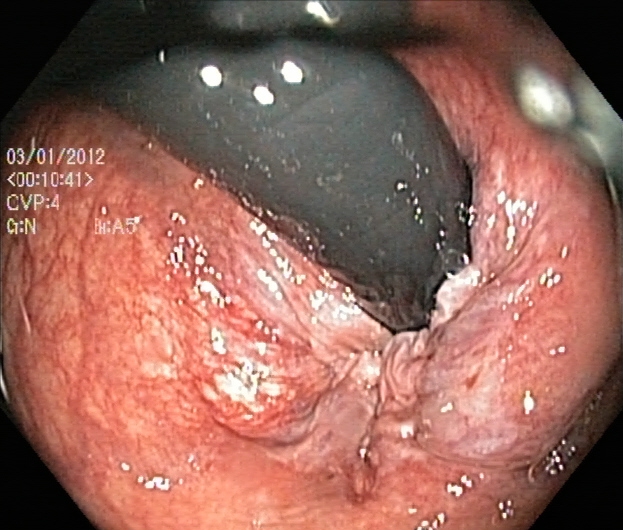Endoscopic image of the lower GI tract showing rectum in retroflexion.